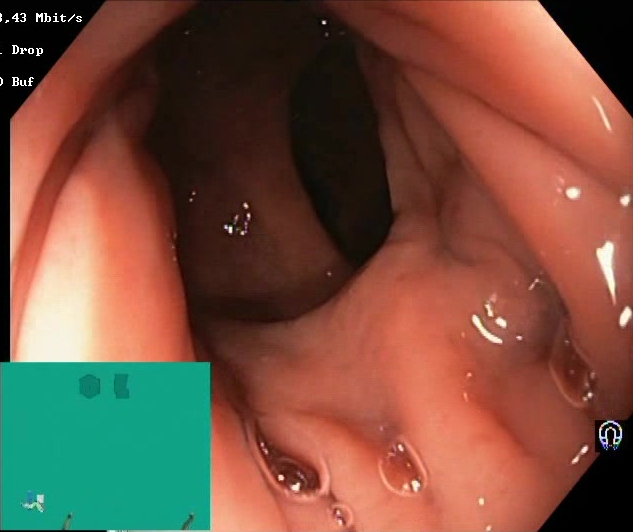modality: lower gastrointestinal endoscopy | category: mucosal-view quality | finding: Boston Bowel Preparation Scale score 2–3 (adequate preparation)